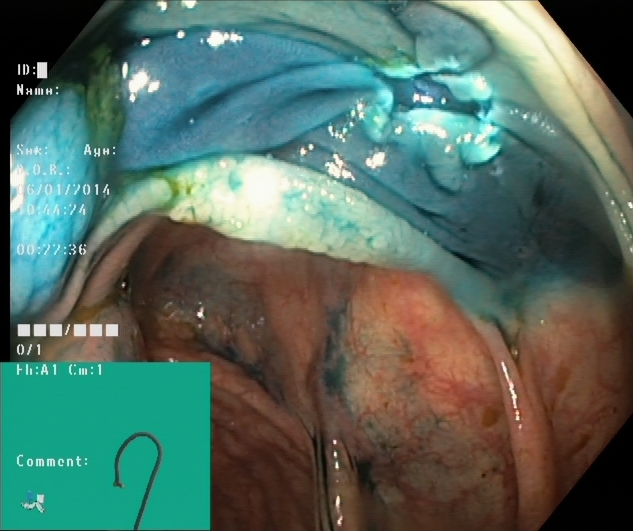Lower-GI endoscopy. Therapeutic intervention. Finding: dyed resection margins (post-polypectomy).